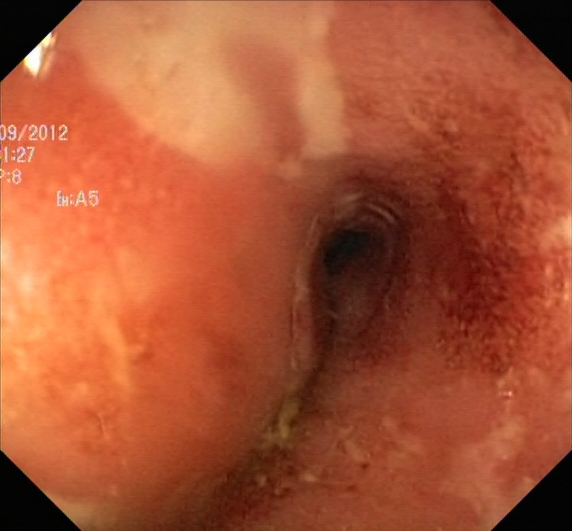{"modality": "colonoscopy", "tract": "lower GI tract", "category": "pathological finding", "finding": "ulcerative colitis, Mayo endoscopic subscore 2\u20133"}